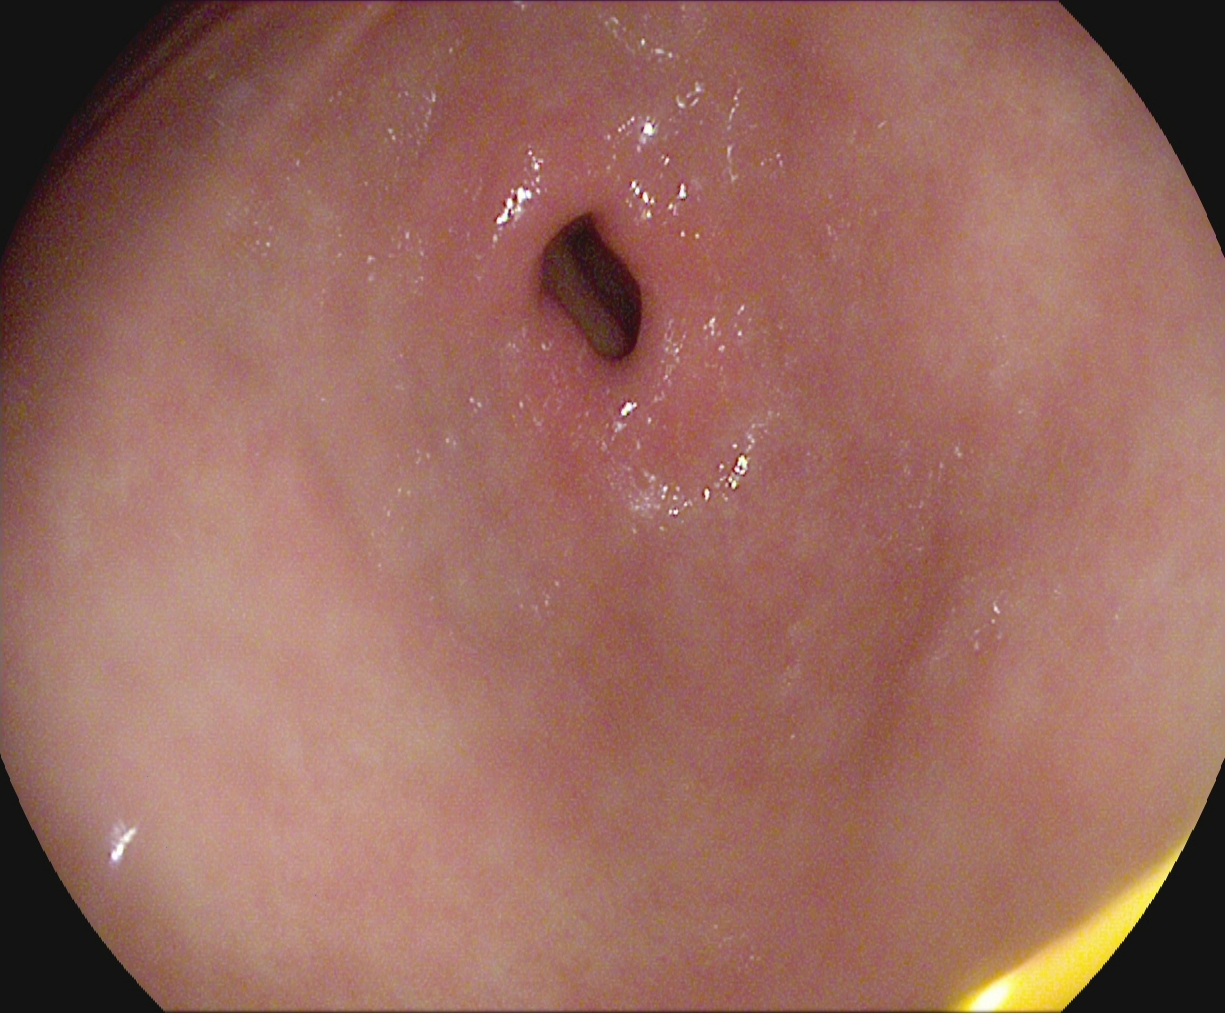Pylorus.